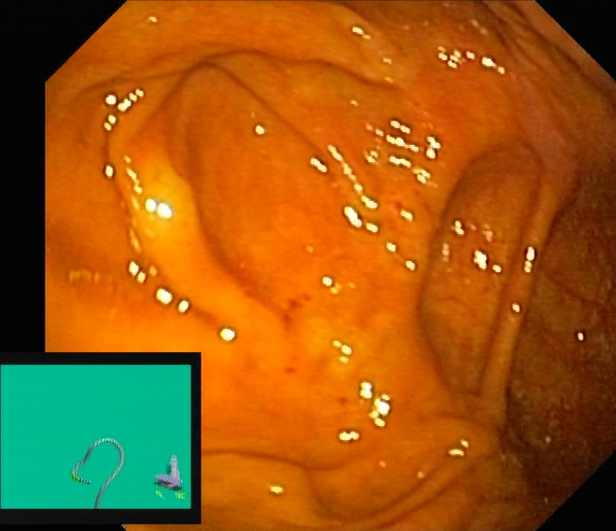PROCEDURE: Lower-GI endoscopy.
CATEGORY: Anatomical landmark.
FINDINGS: Cecum.